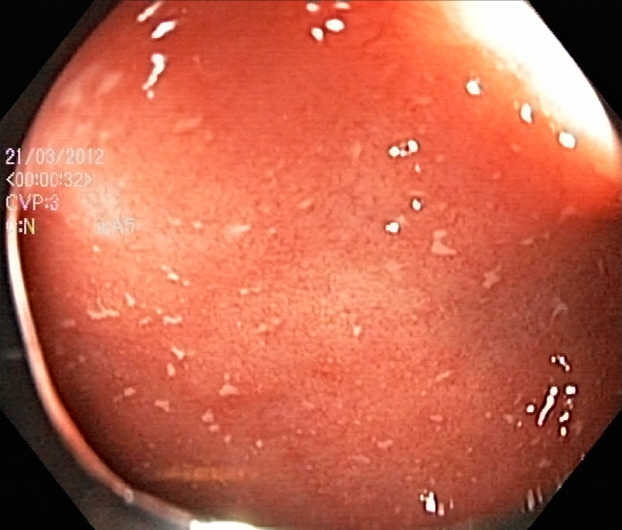This endoscopy frame shows UC, Mayo endoscopic subscore 2.